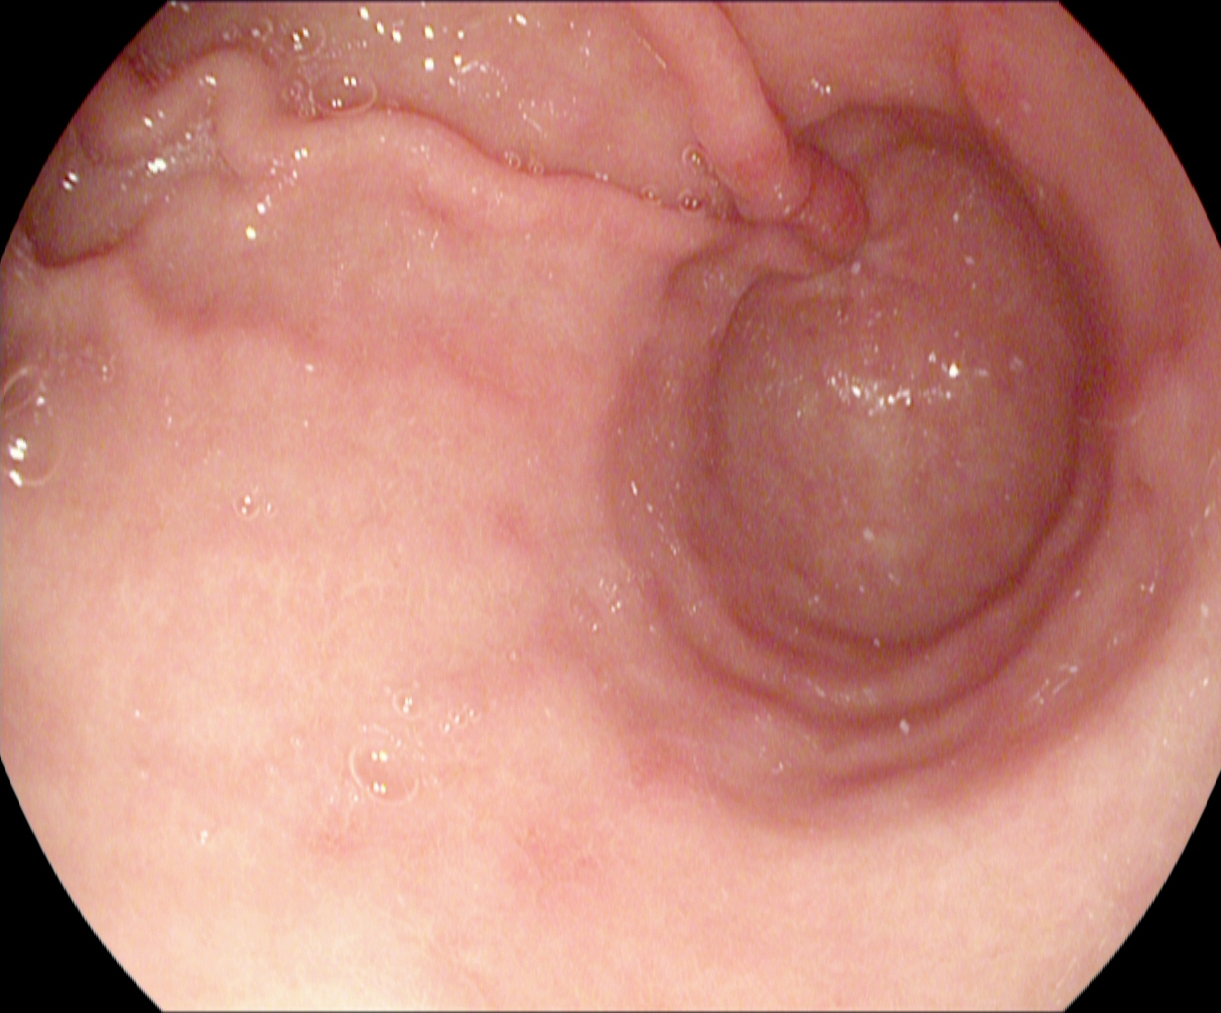Upper-GI endoscopy — pylorus.